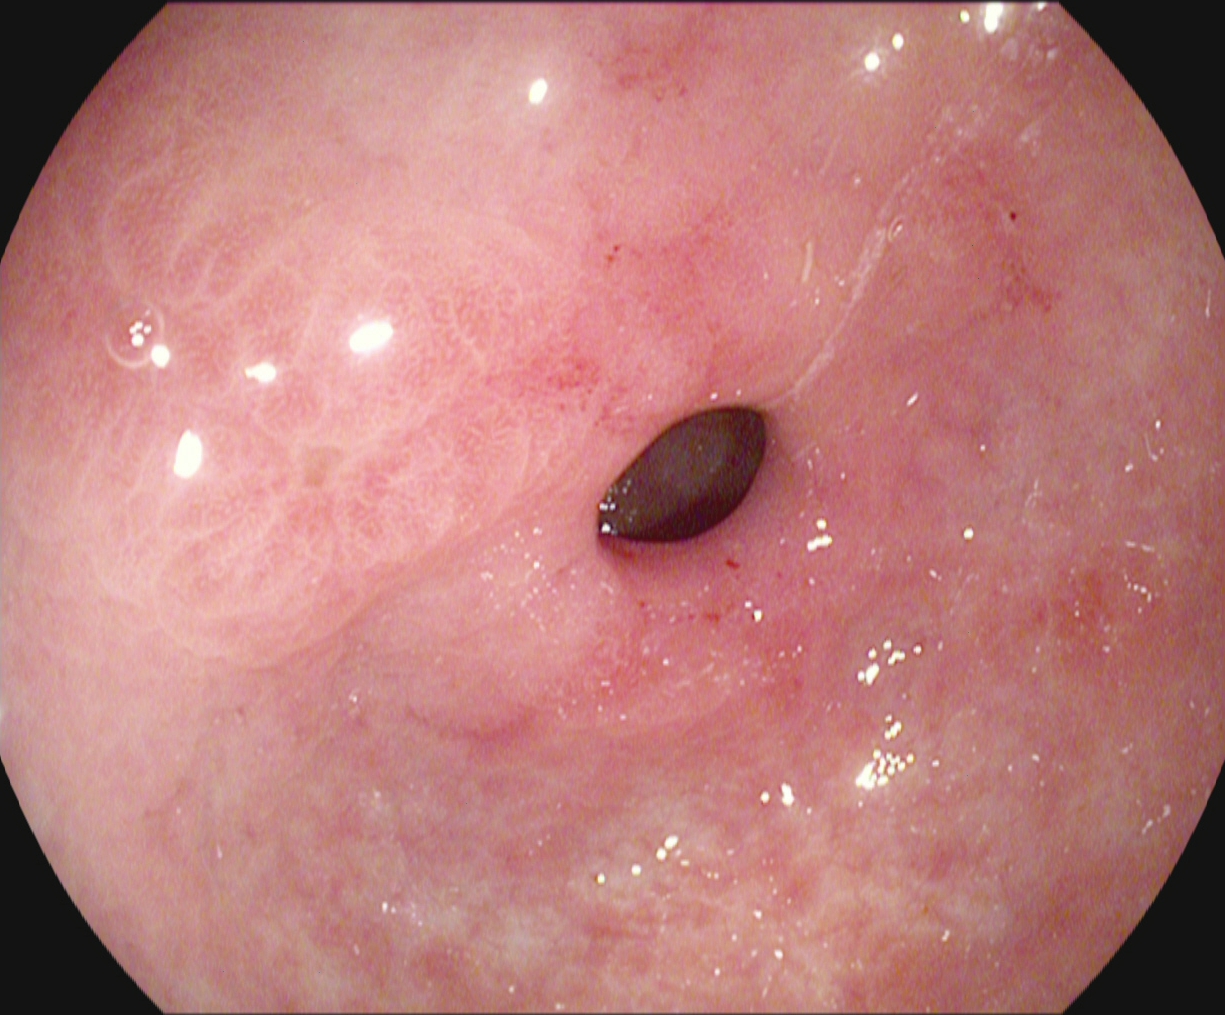PROCEDURE: Gastroscopy.
FINDINGS: Pylorus.